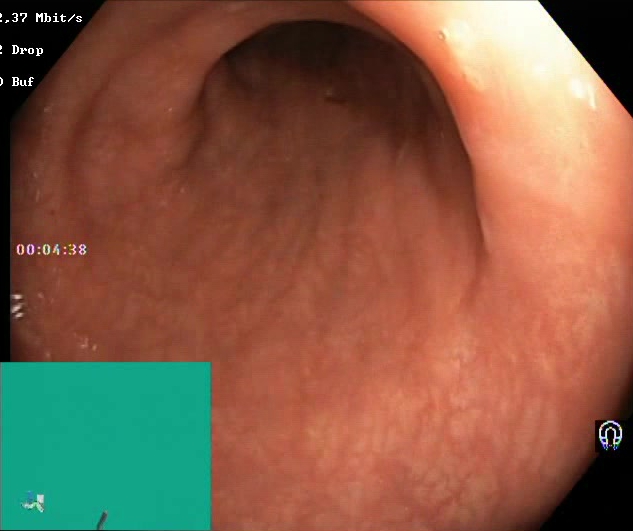Endoscopy image of the lower GI tract showing Boston Bowel Preparation Scale score 2–3 (adequate preparation).